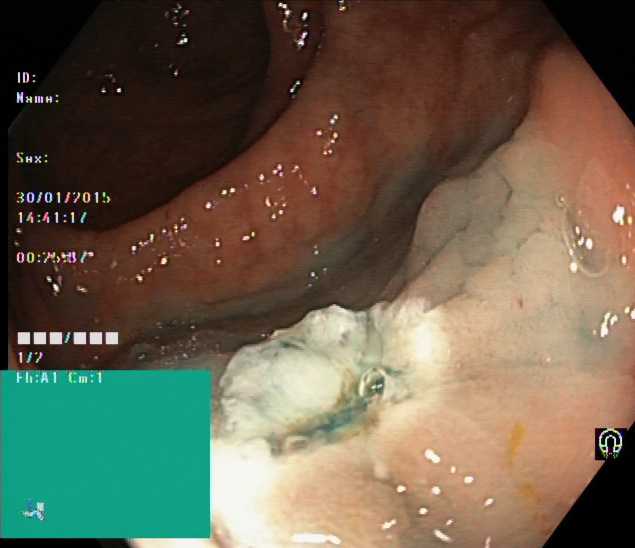Lower gastrointestinal endoscopy — dyed resection margins (post-polypectomy).